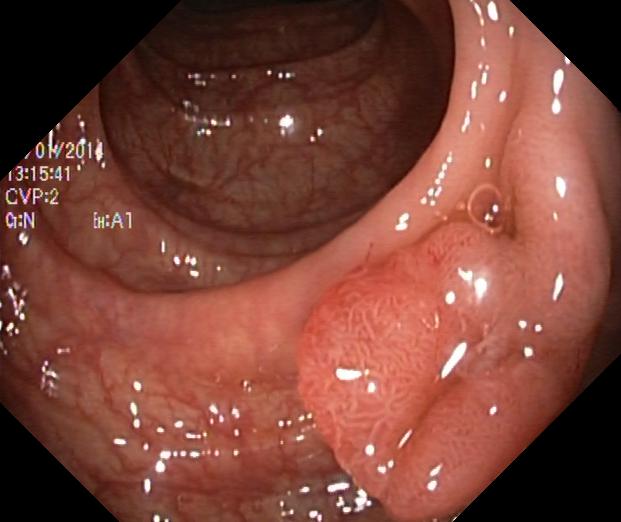Colorectal polyp(s).